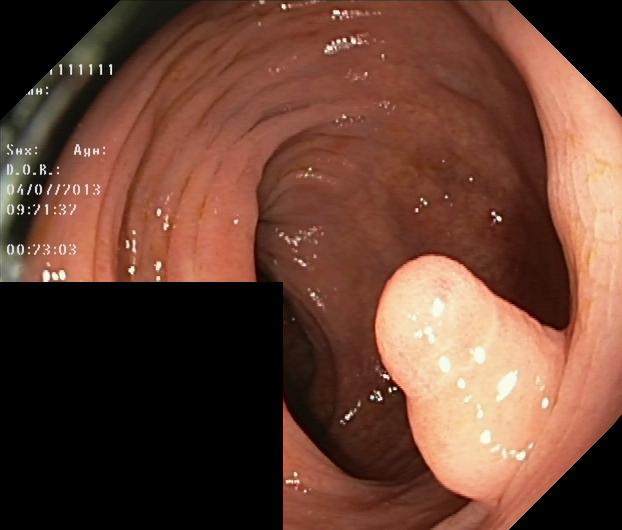This endoscopic image shows colorectal polyp(s).